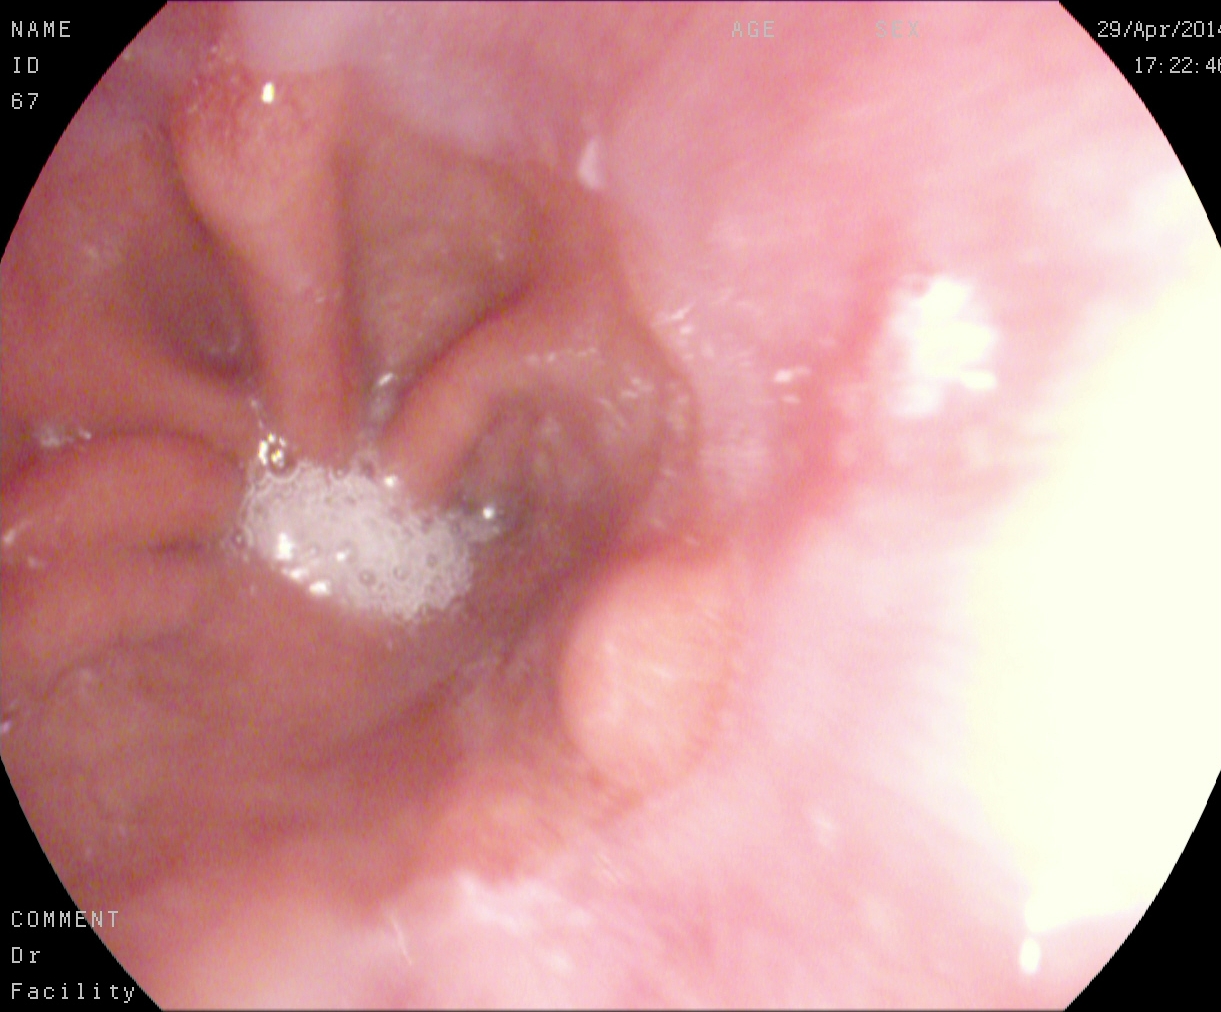Endoscopic frame of the upper GI tract showing Z-line (gastroesophageal junction).